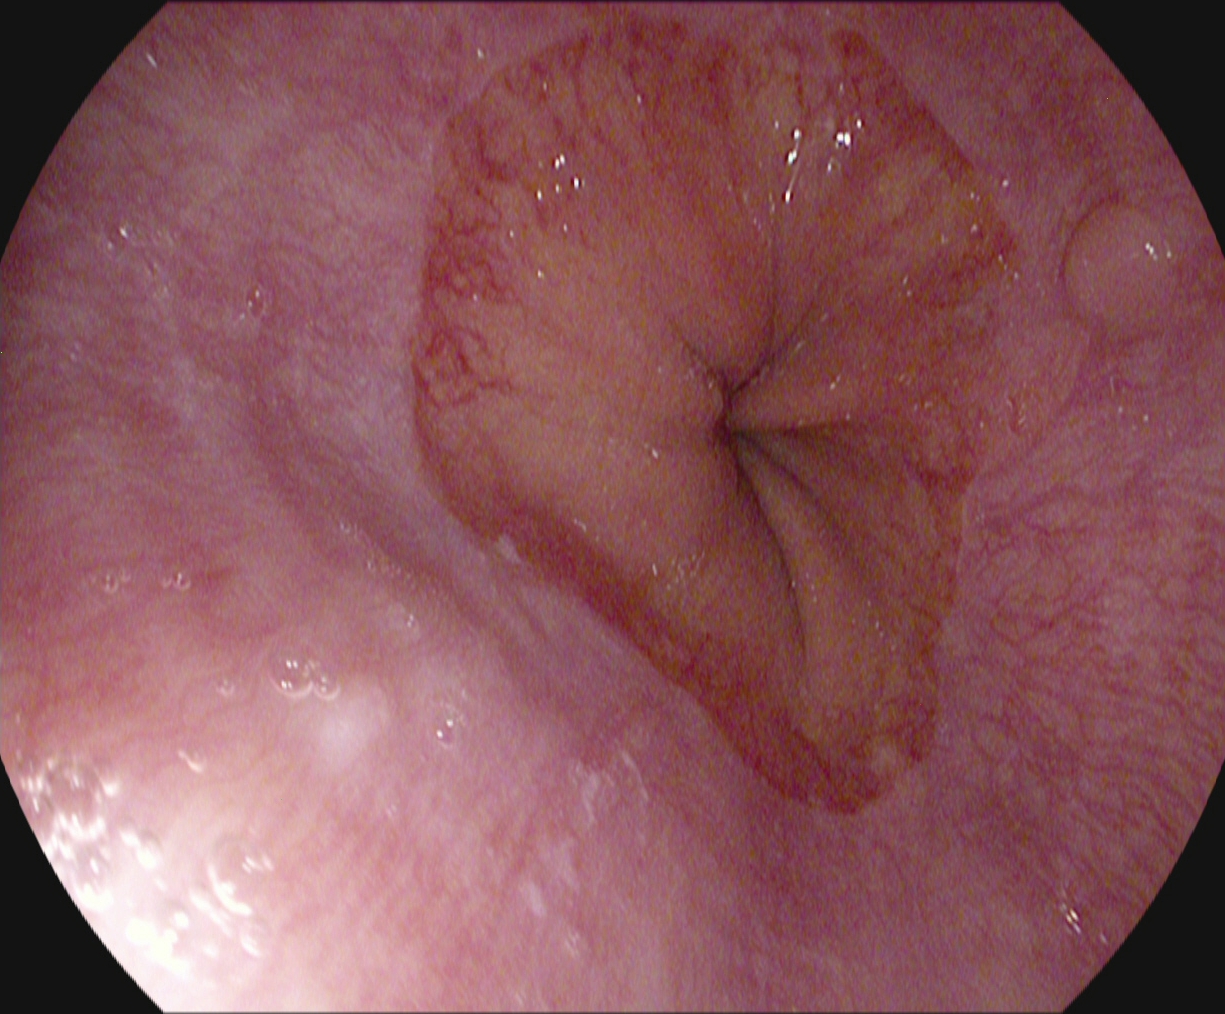Gastroscopy image showing Barrett's esophagus, short segment.